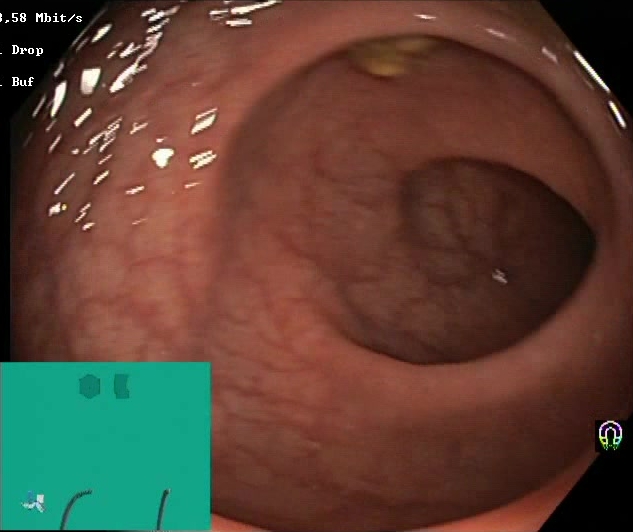Boston Bowel Preparation Scale score 2–3 (adequate preparation).